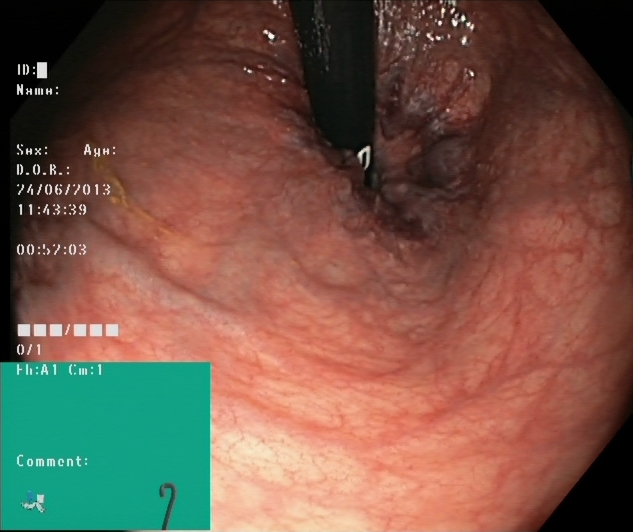Lower gastrointestinal endoscopy — rectum in retroflexion.